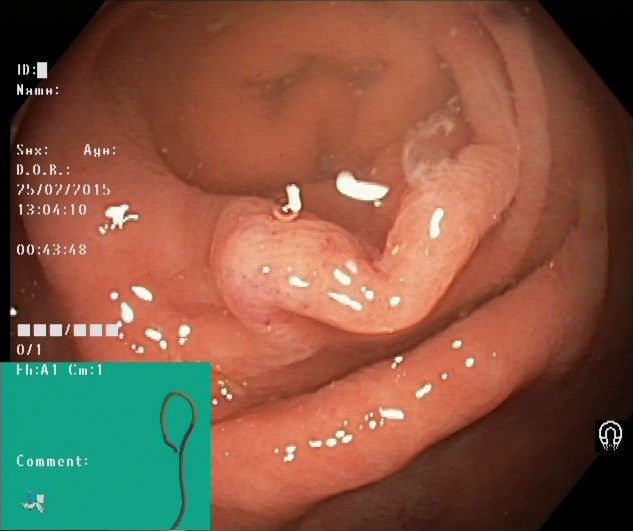Lower gastrointestinal endoscopy. Tract: lower GI tract. Finding: cecum.